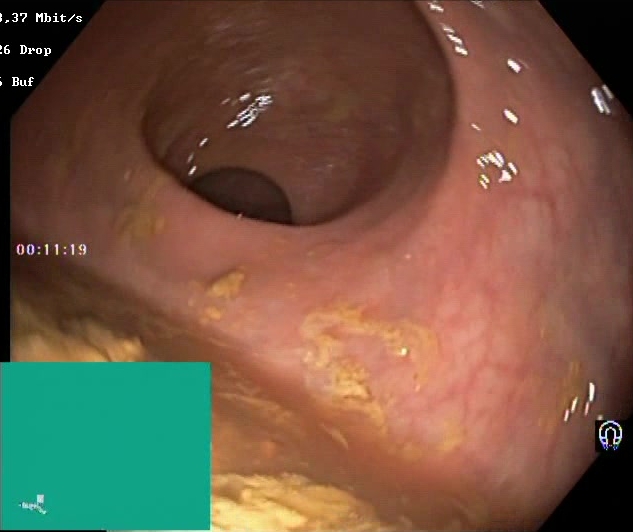Colonoscopy image showing Boston Bowel Preparation Scale score 0–1 (inadequate preparation).